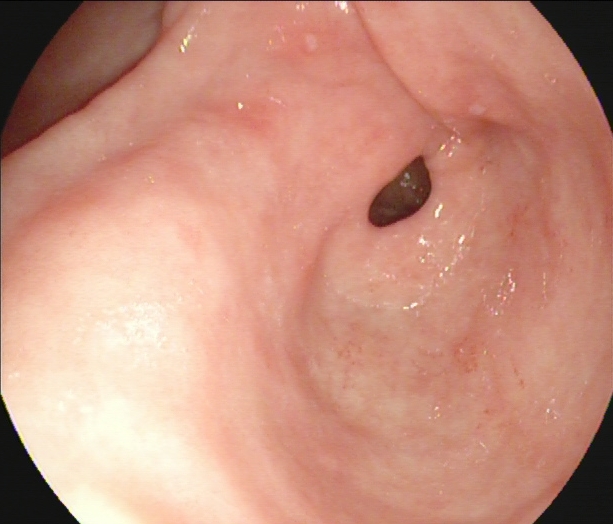Upper-GI endoscopy. Finding: pylorus.